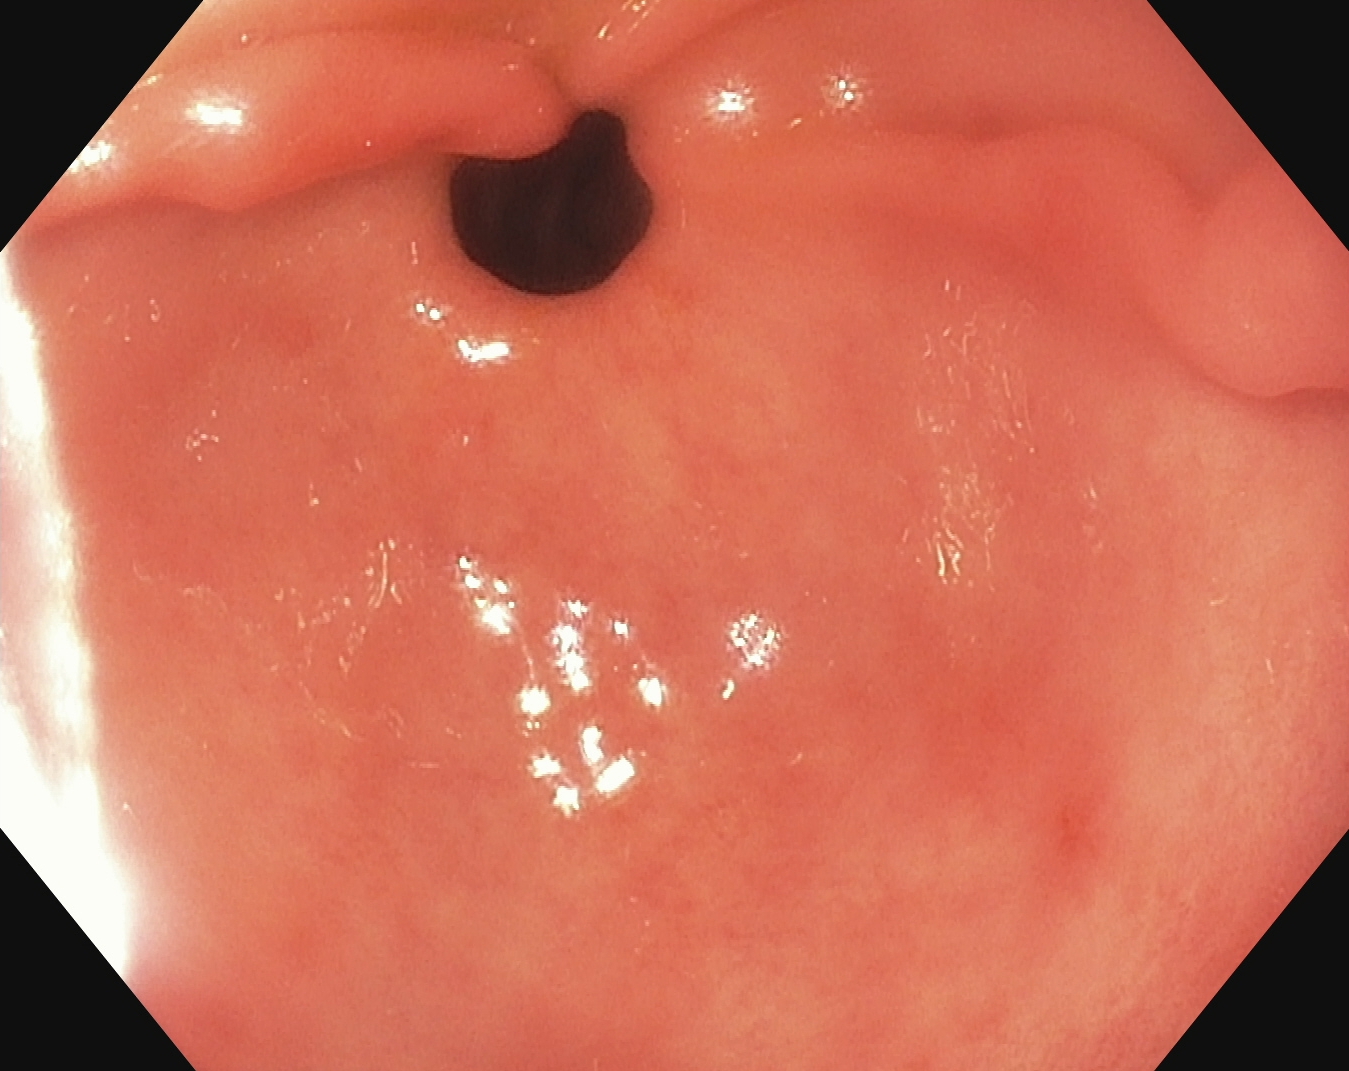{"modality": "EGD", "tract": "upper GI tract", "finding": "pylorus"}